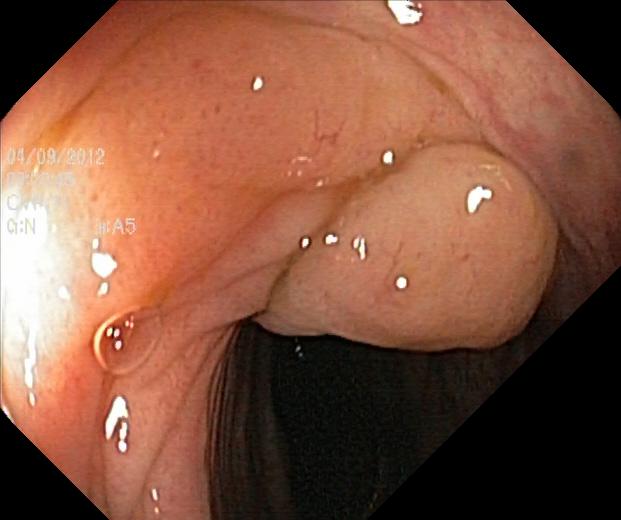Colonoscopy image showing colorectal polyp(s).